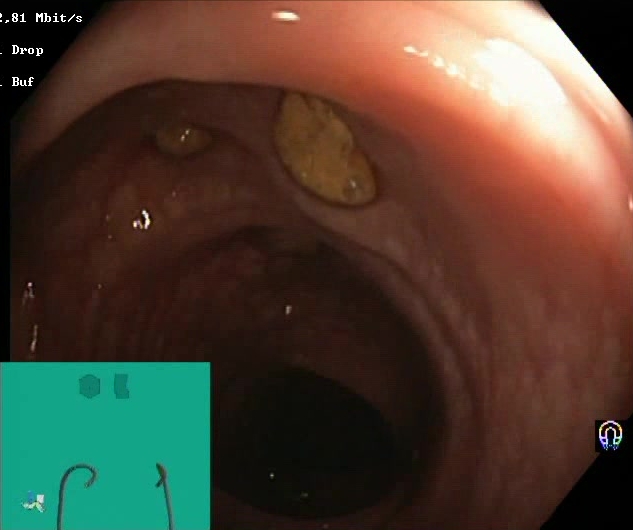{"modality": "colonoscopy", "tract": "lower GI tract", "finding": "impacted stool"}